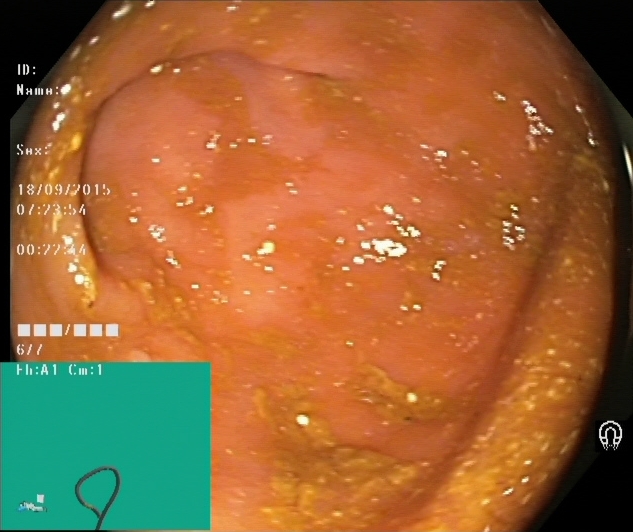Lower-GI endoscopy. Anatomical landmark. Finding: cecum.